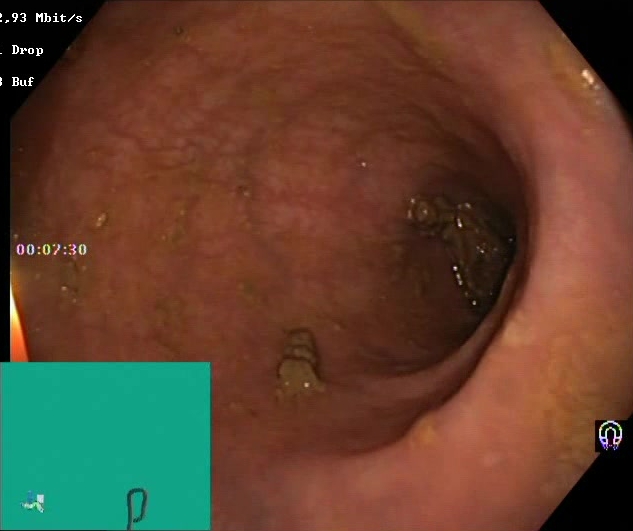This endoscopic image of the lower GI tract shows BBPS score 2–3 (adequate preparation).